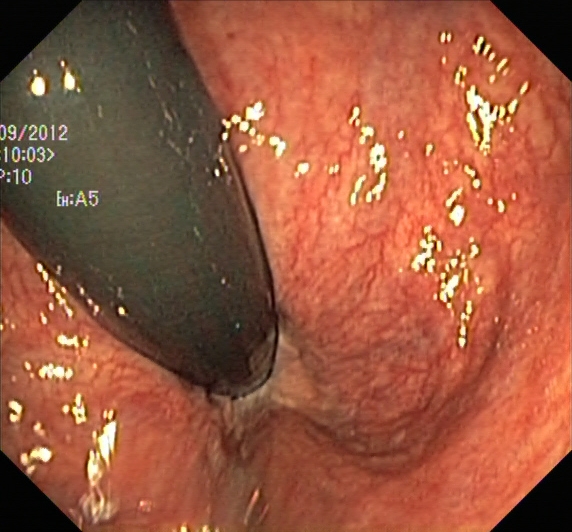Rectum in retroflexion.